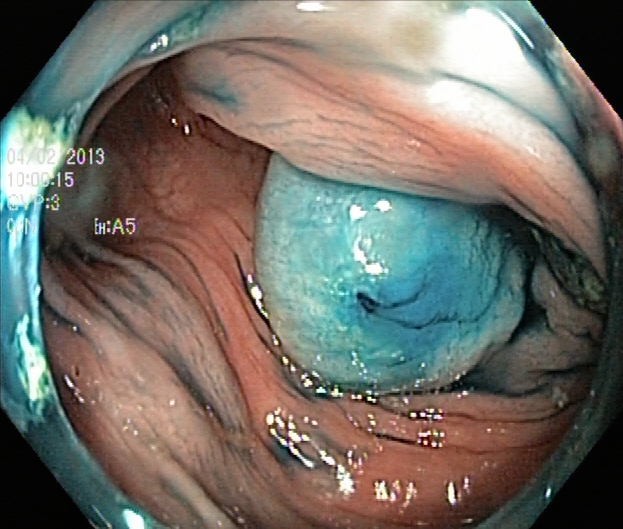modality: lower gastrointestinal endoscopy
tract: lower GI tract
finding: dyed and lifted polyp (pre-resection)